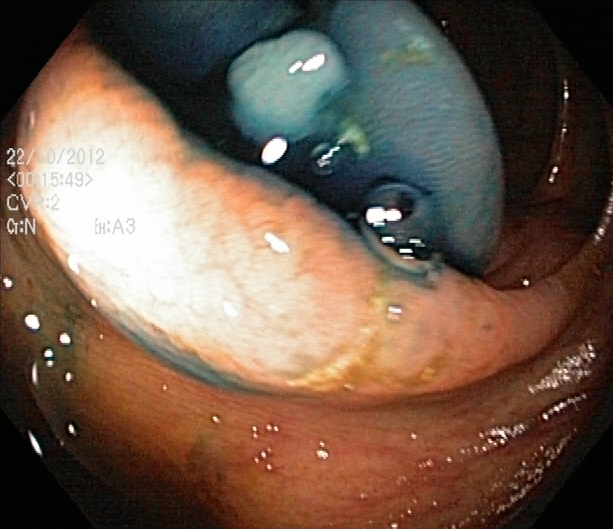Lower-GI endoscopy. Tract: lower GI tract. Finding: dyed and lifted polyp (pre-resection).